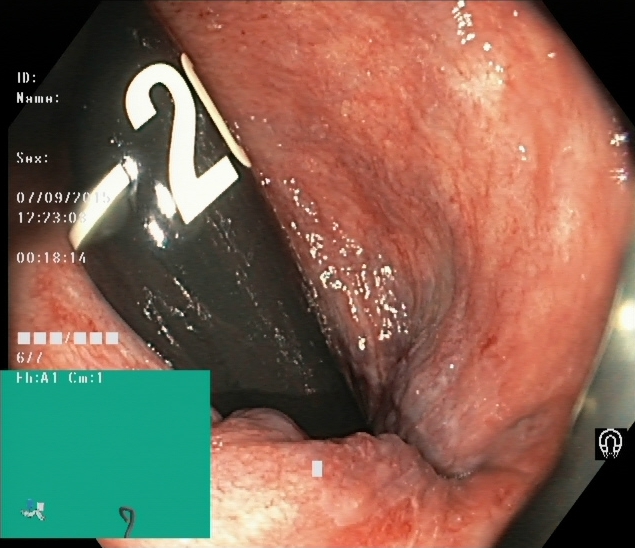{"modality": "colonoscopy", "category": "anatomical landmark", "finding": "rectum in retroflexion"}